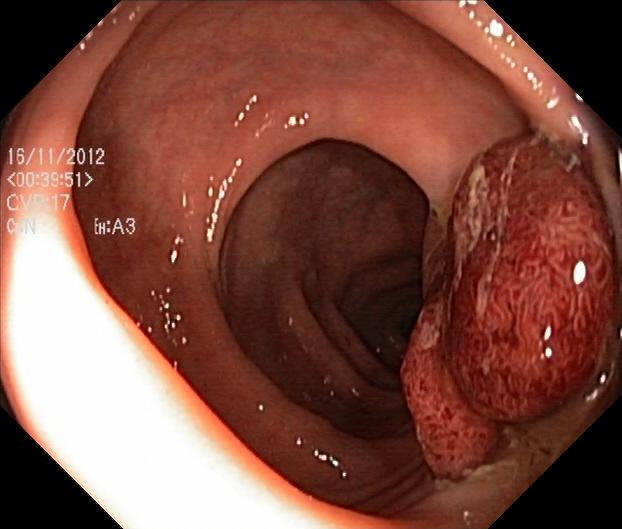modality: colonoscopy; category: pathological finding; finding: colorectal polyp(s)